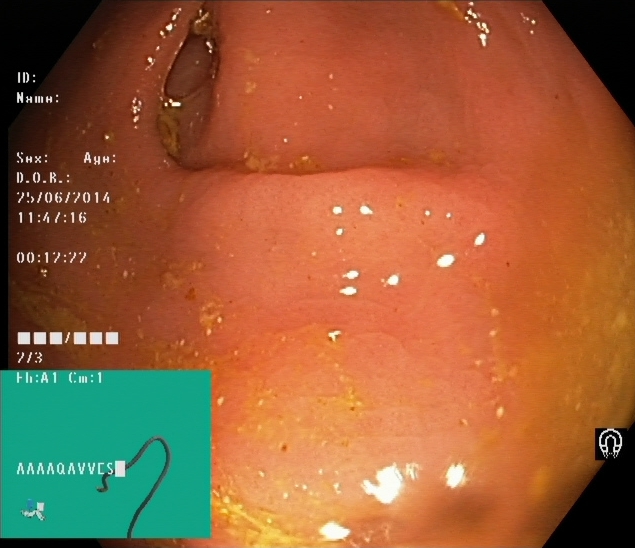PROCEDURE: Lower gastrointestinal endoscopy.
FINDINGS: Cecum.